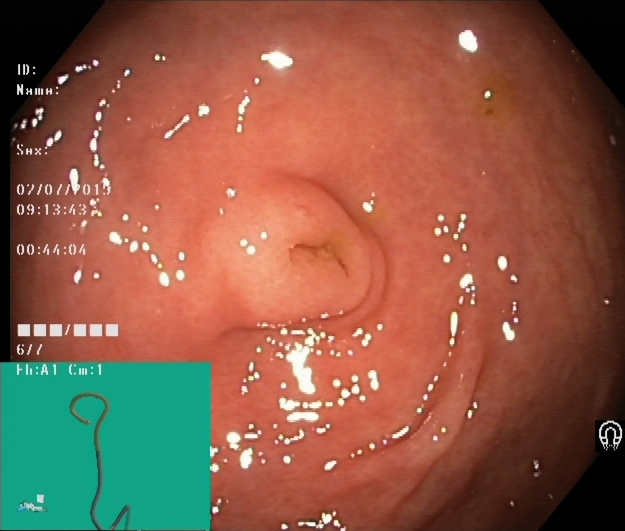Cecum.